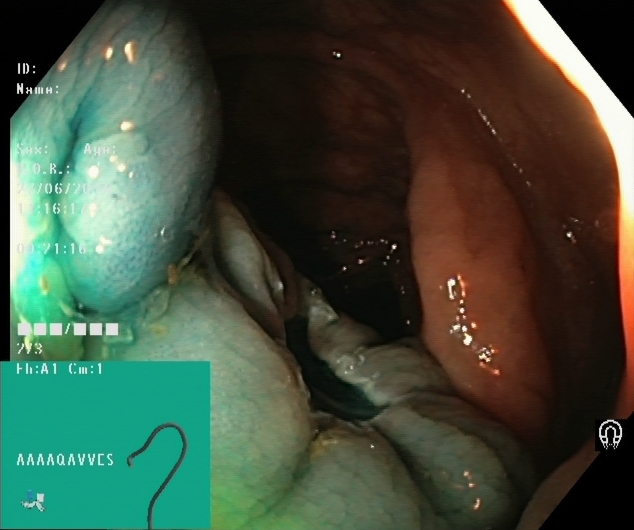{"modality": "lower gastrointestinal endoscopy", "tract": "lower GI tract", "category": "therapeutic intervention", "finding": "dyed resection margins (post-polypectomy)"}